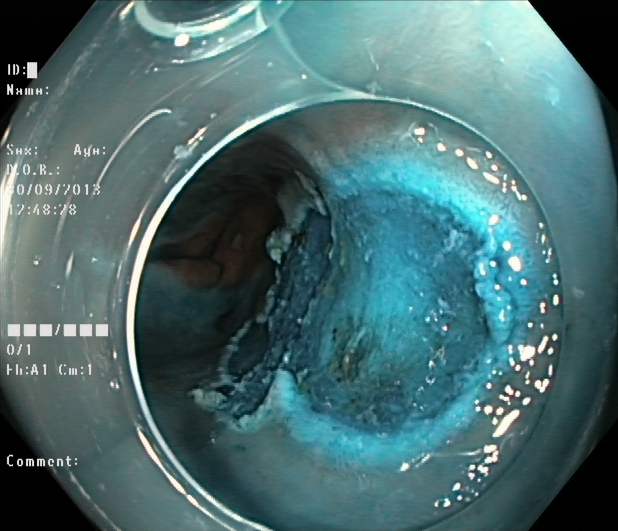dyed resection margins (post-polypectomy).